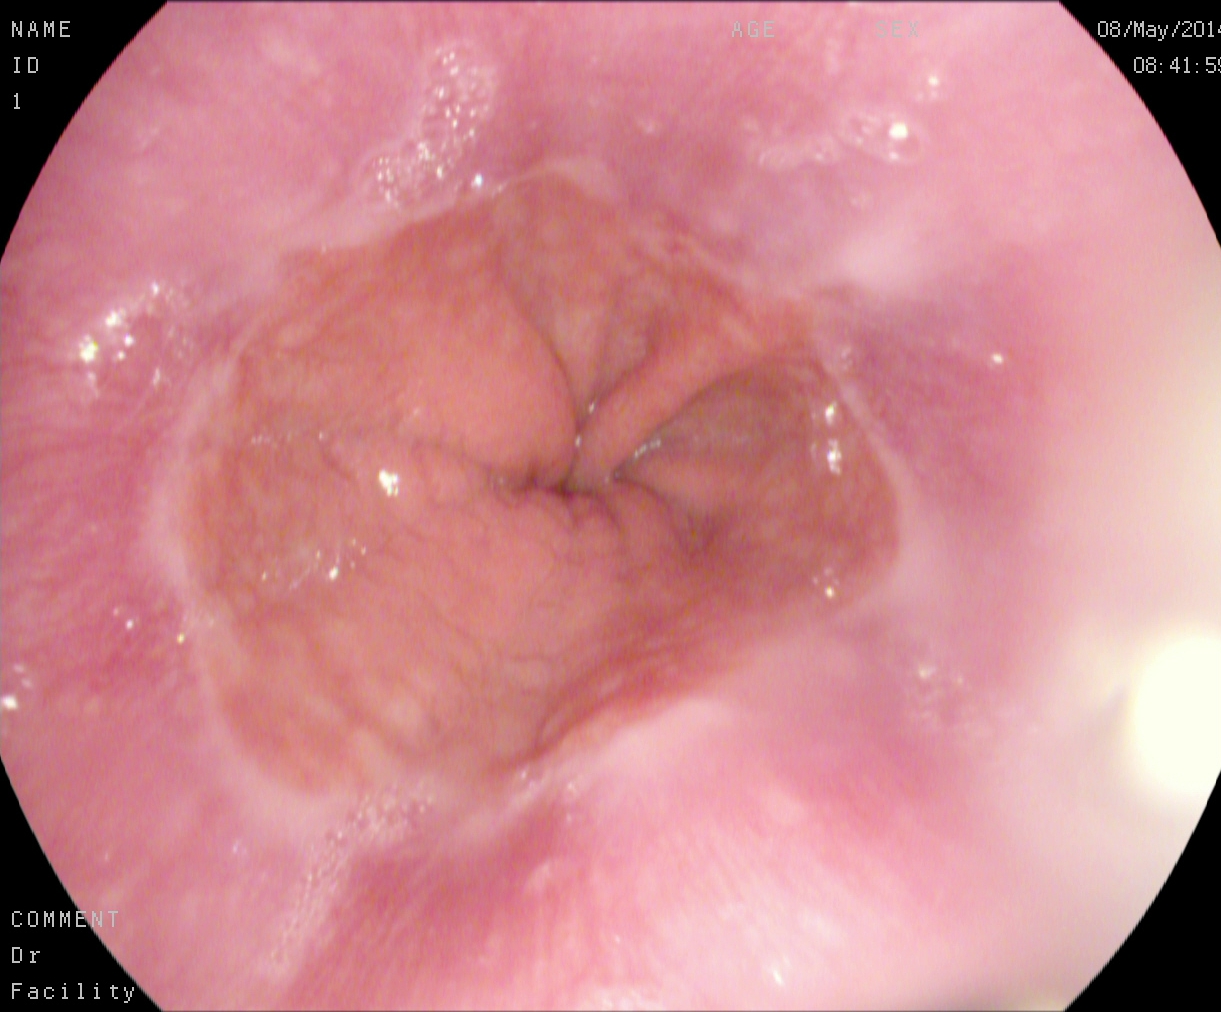{"modality": "EGD", "finding": "Z-line (gastroesophageal junction)"}